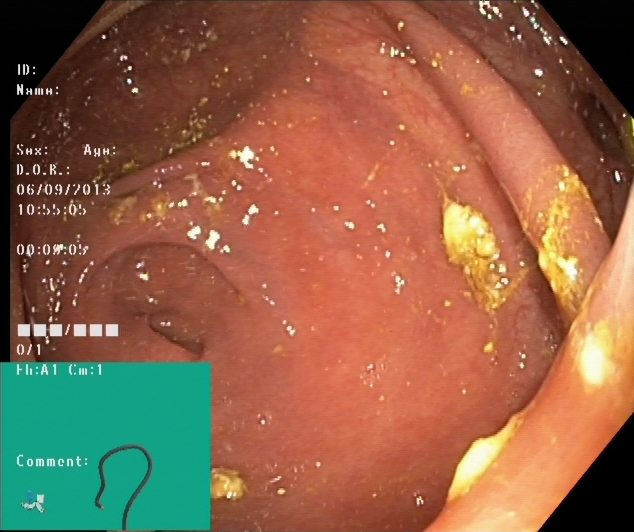Colonoscopy. Finding: cecum.